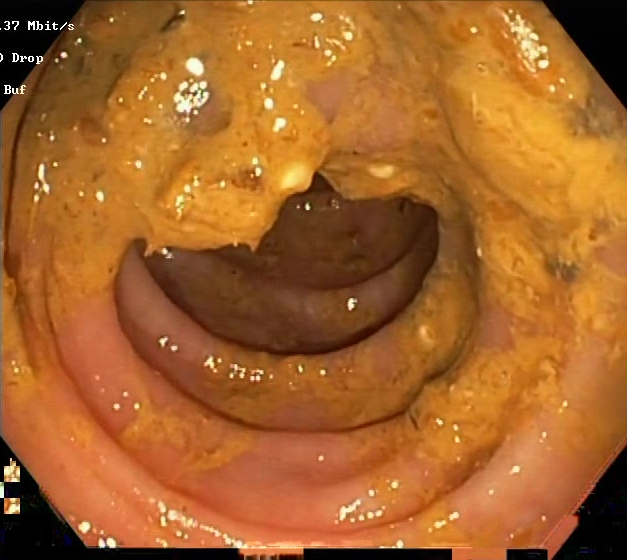Boston Bowel Preparation Scale score 0–1 (inadequate preparation).